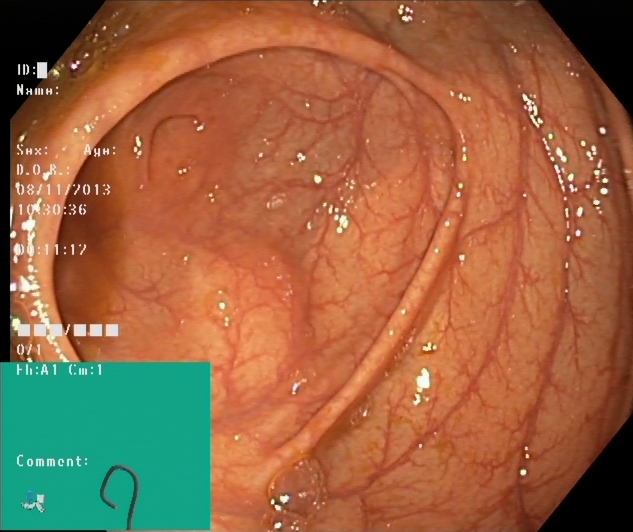Endoscopy image showing cecum.